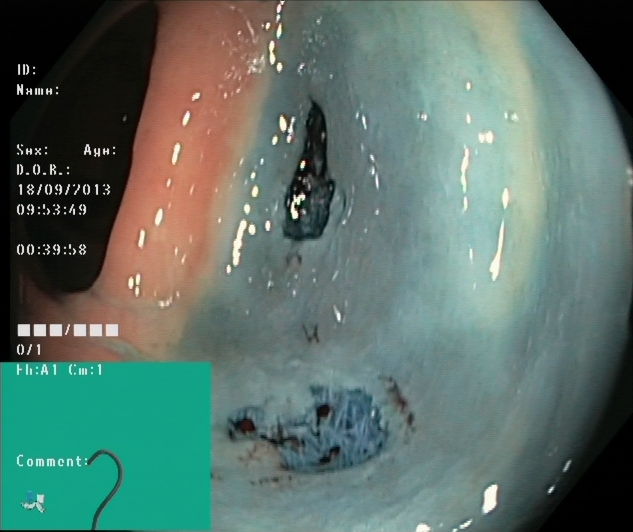This endoscopic image of the lower GI tract shows dyed resection margins (post-polypectomy).